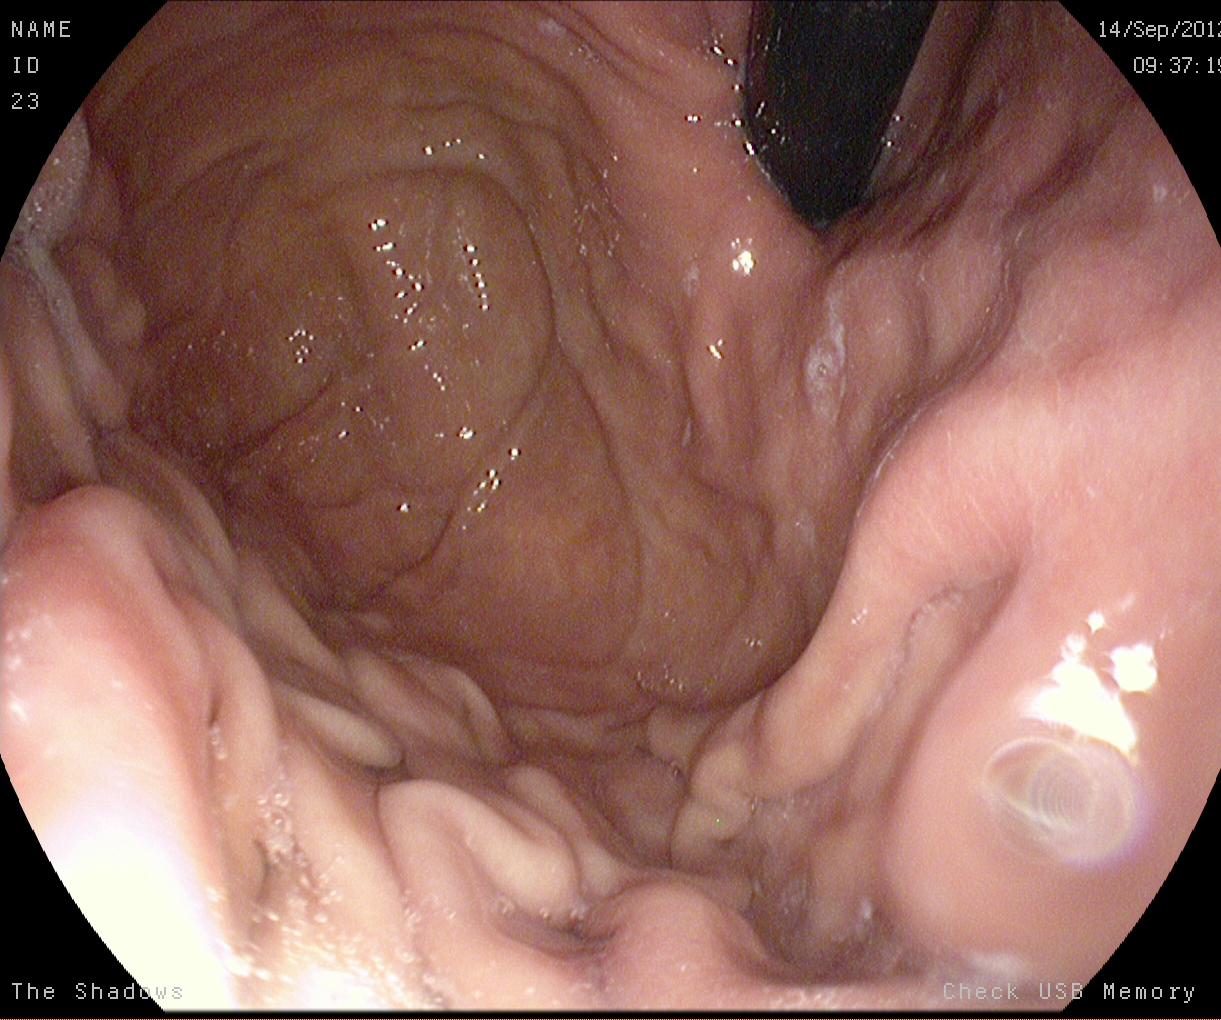Stomach in retroflexion.